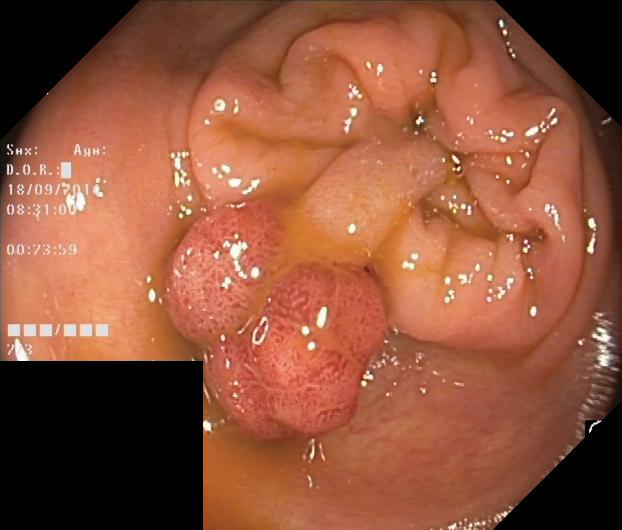modality: colonoscopy
category: pathological finding
finding: colorectal polyp(s)